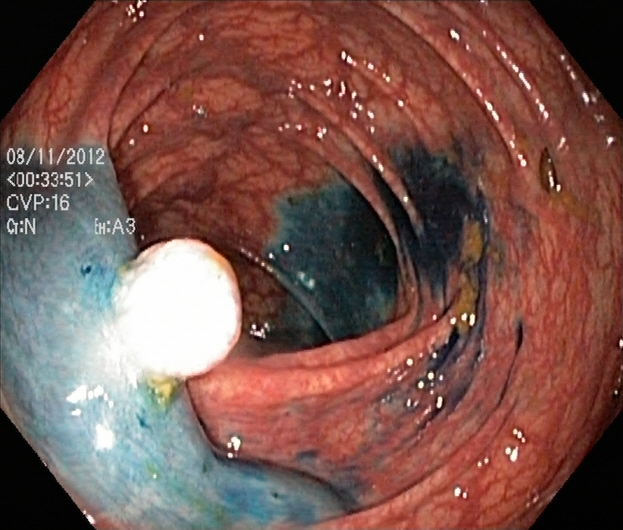Colonoscopy. Therapeutic intervention. Finding: dyed and lifted polyp (pre-resection).